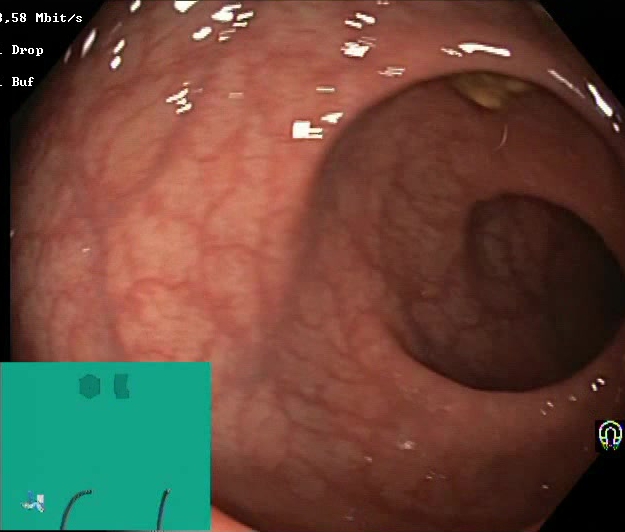Colonoscopy. Tract: lower GI tract. Mucosal-view quality. Finding: Boston Bowel Preparation Scale score 2–3 (adequate preparation).